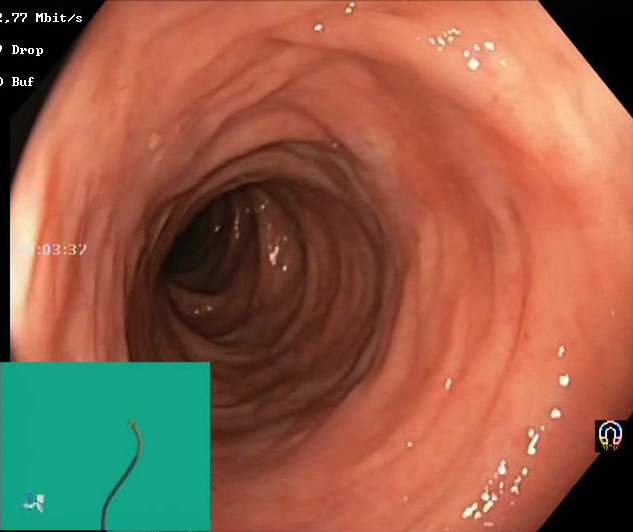Colonoscopy image of the lower GI tract showing BBPS score 2–3 (adequate preparation).